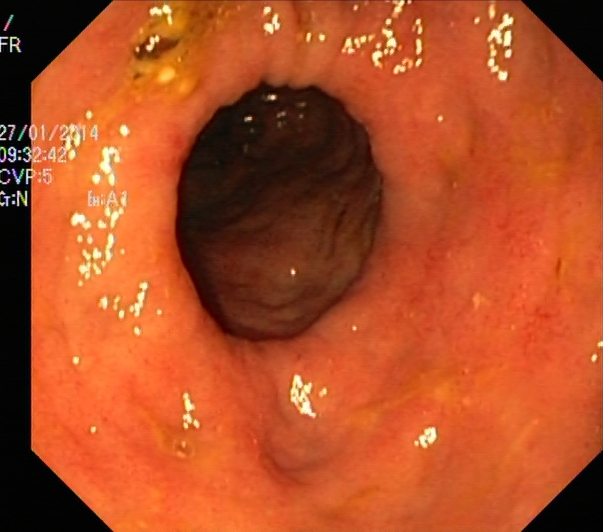PROCEDURE: Lower-GI endoscopy.
FINDINGS: UC, Mayo endoscopic subscore 2.